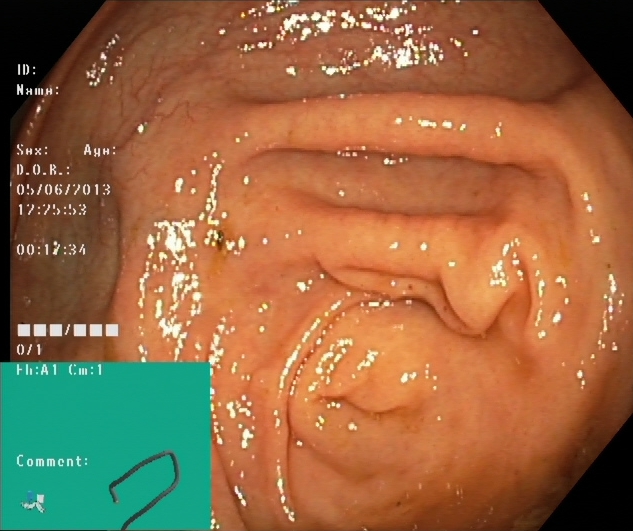{"modality": "lower-GI endoscopy", "tract": "lower GI tract", "finding": "cecum"}